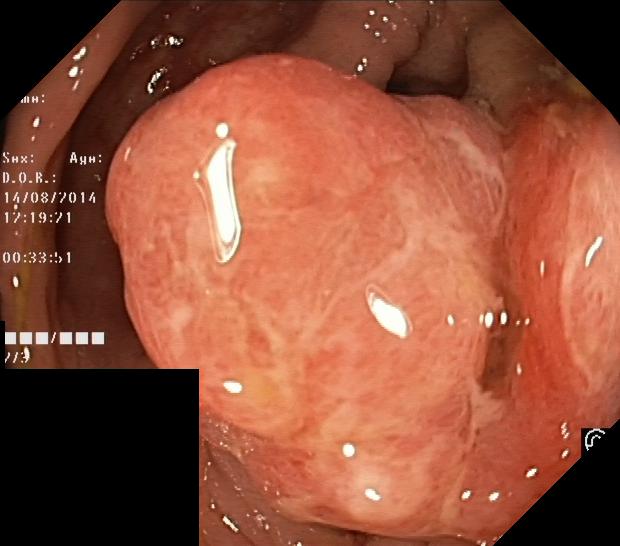This endoscopy frame shows colorectal polyp(s).